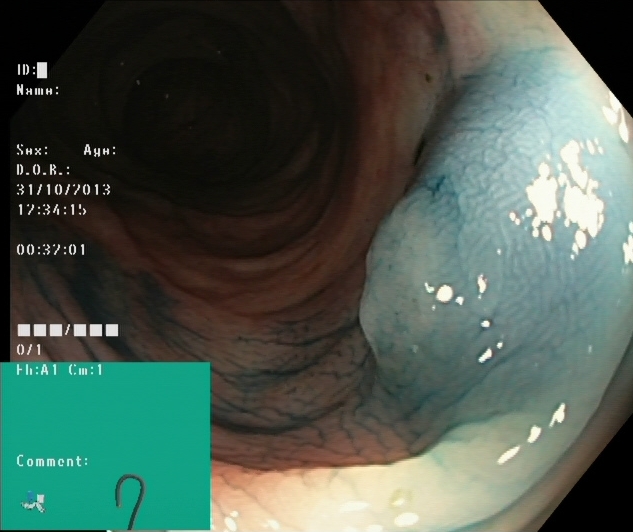modality: lower-GI endoscopy; tract: lower GI tract; category: therapeutic intervention; finding: dyed and lifted polyp (pre-resection)